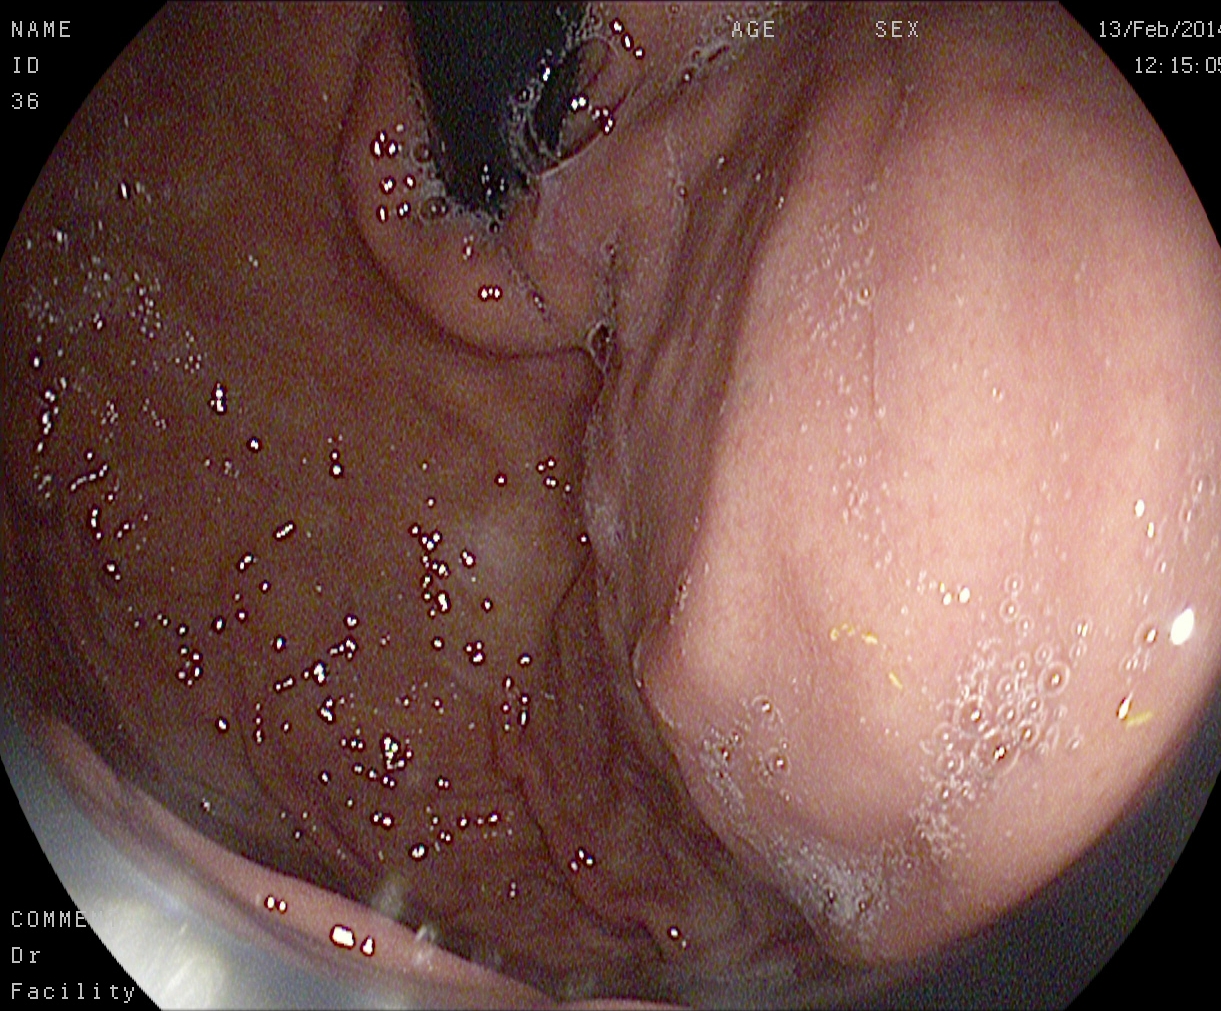EGD. Finding: stomach in retroflexion.